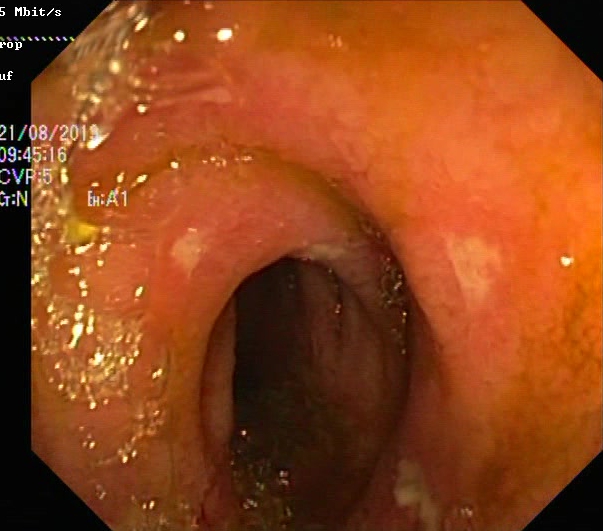{"modality": "lower-GI endoscopy", "tract": "lower GI tract", "finding": "ulcerative colitis, Mayo endoscopic subscore 2\u20133"}